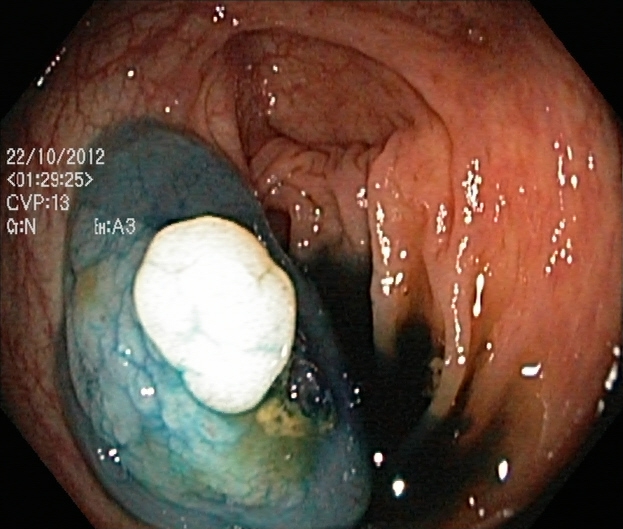GI endoscopy image of the lower GI tract showing dyed and lifted polyp (pre-resection).